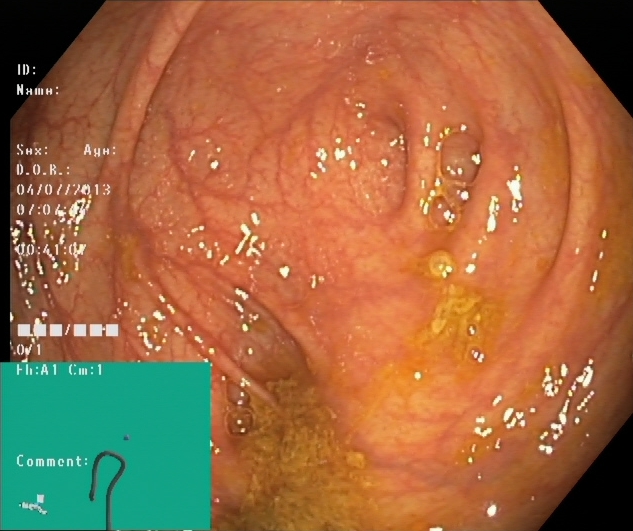Colonoscopy — cecum.